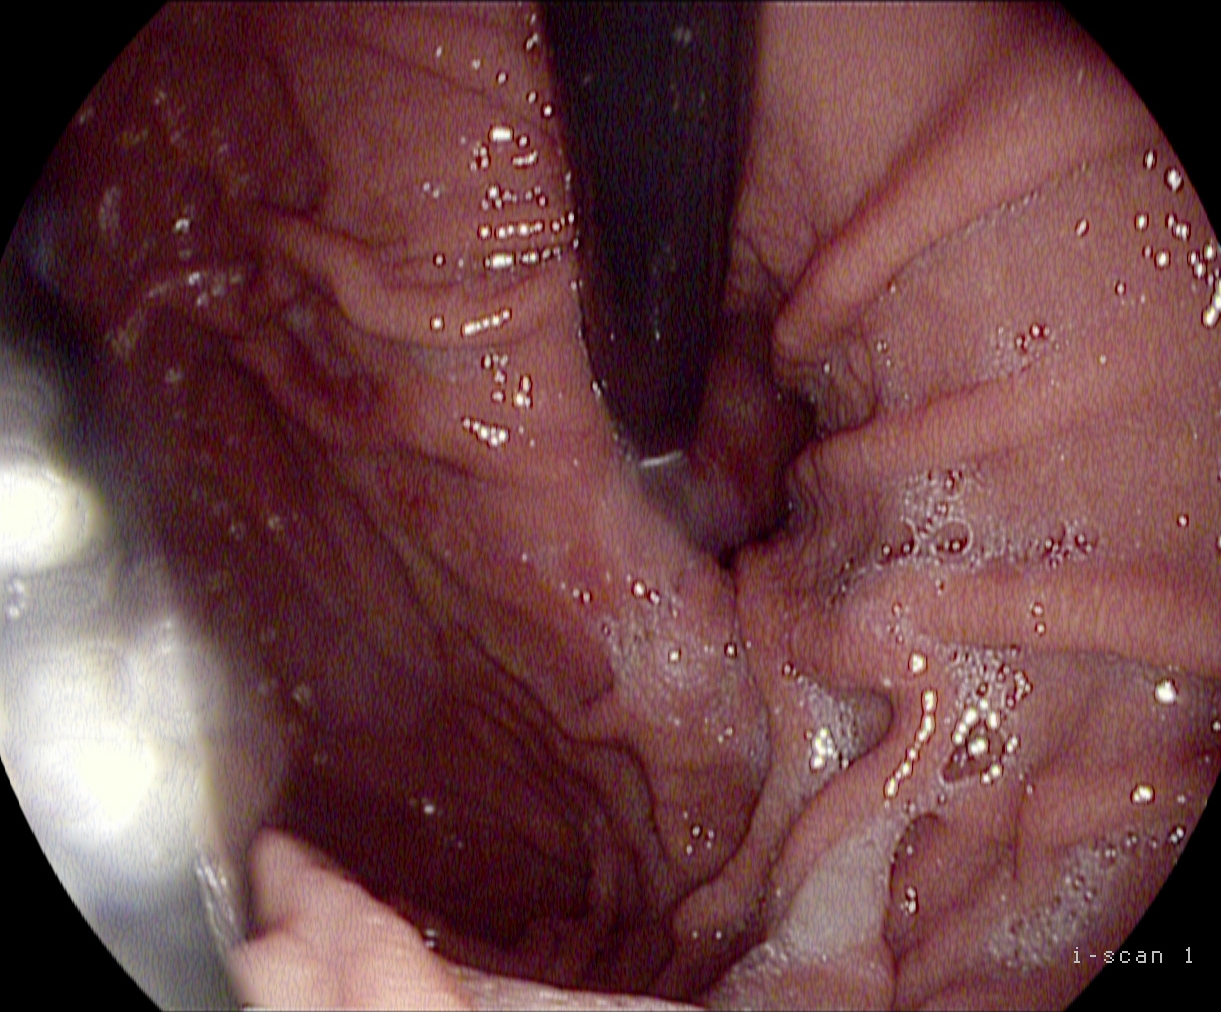This endoscopic image shows stomach in retroflexion.